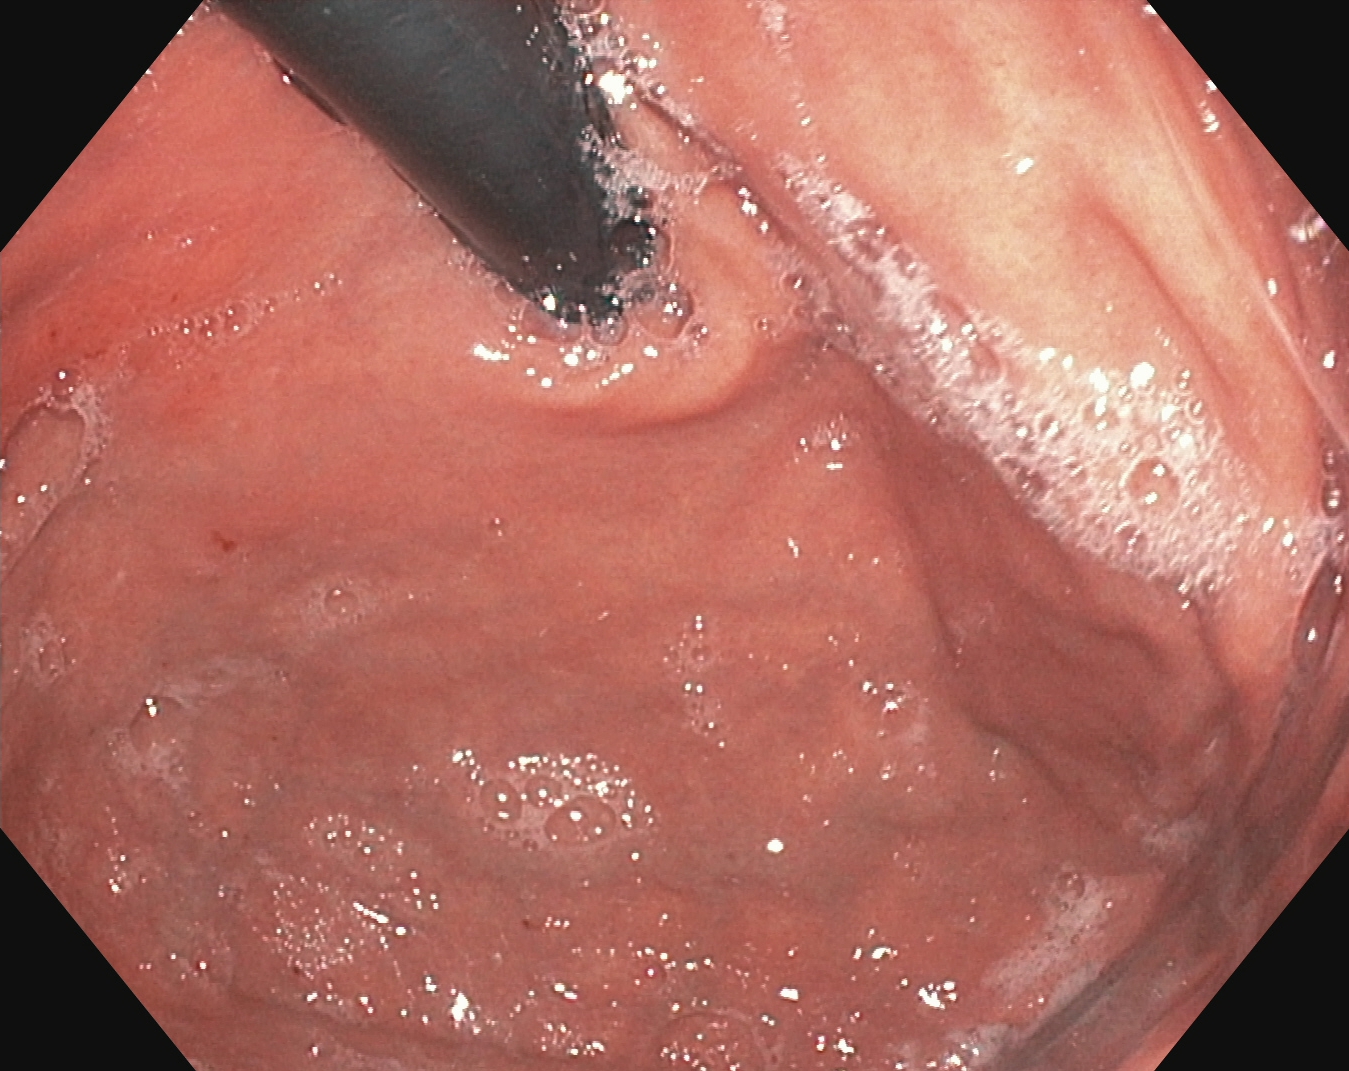PROCEDURE: Esophagogastroduodenoscopy.
CATEGORY: Anatomical landmark.
FINDINGS: Stomach in retroflexion.